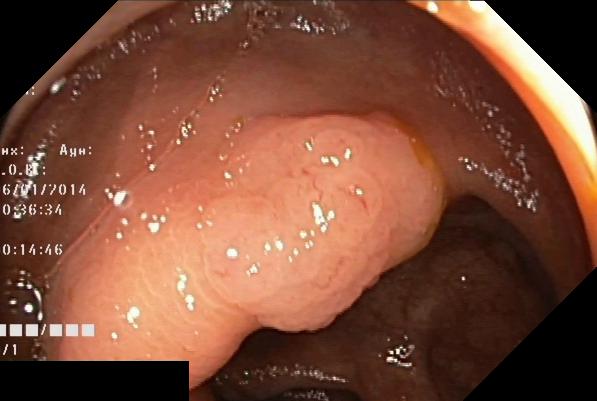Gastrointestinal endoscopy image of the lower GI tract showing colorectal polyp(s).